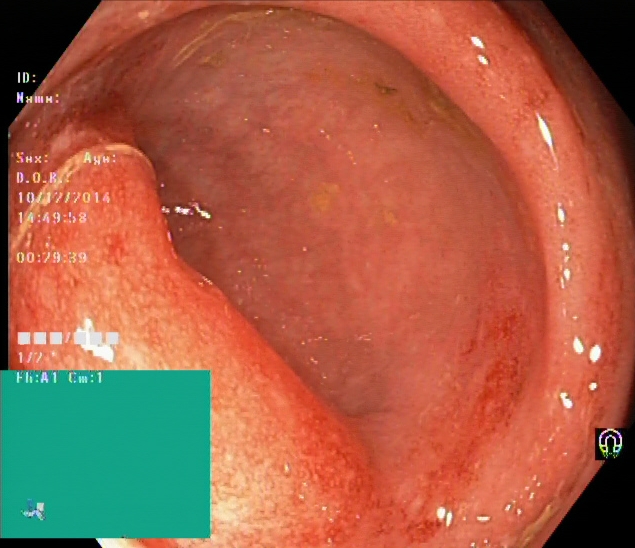Lower gastrointestinal endoscopy. Tract: lower GI tract. Pathological finding. Finding: UC, Mayo endoscopic subscore 2.